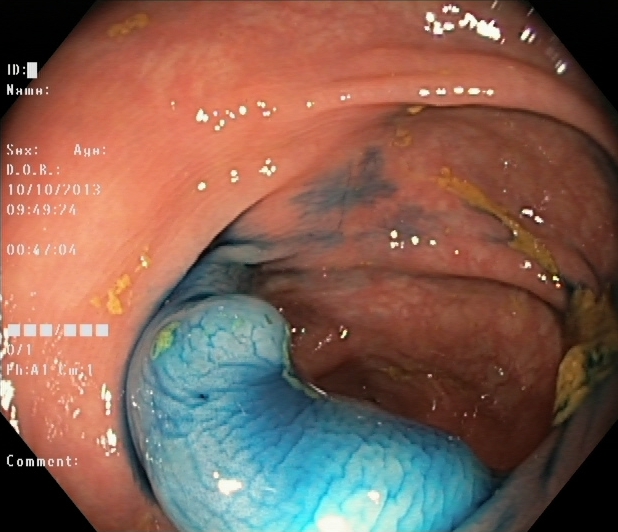Lower-GI endoscopy — dyed and lifted polyp (pre-resection).